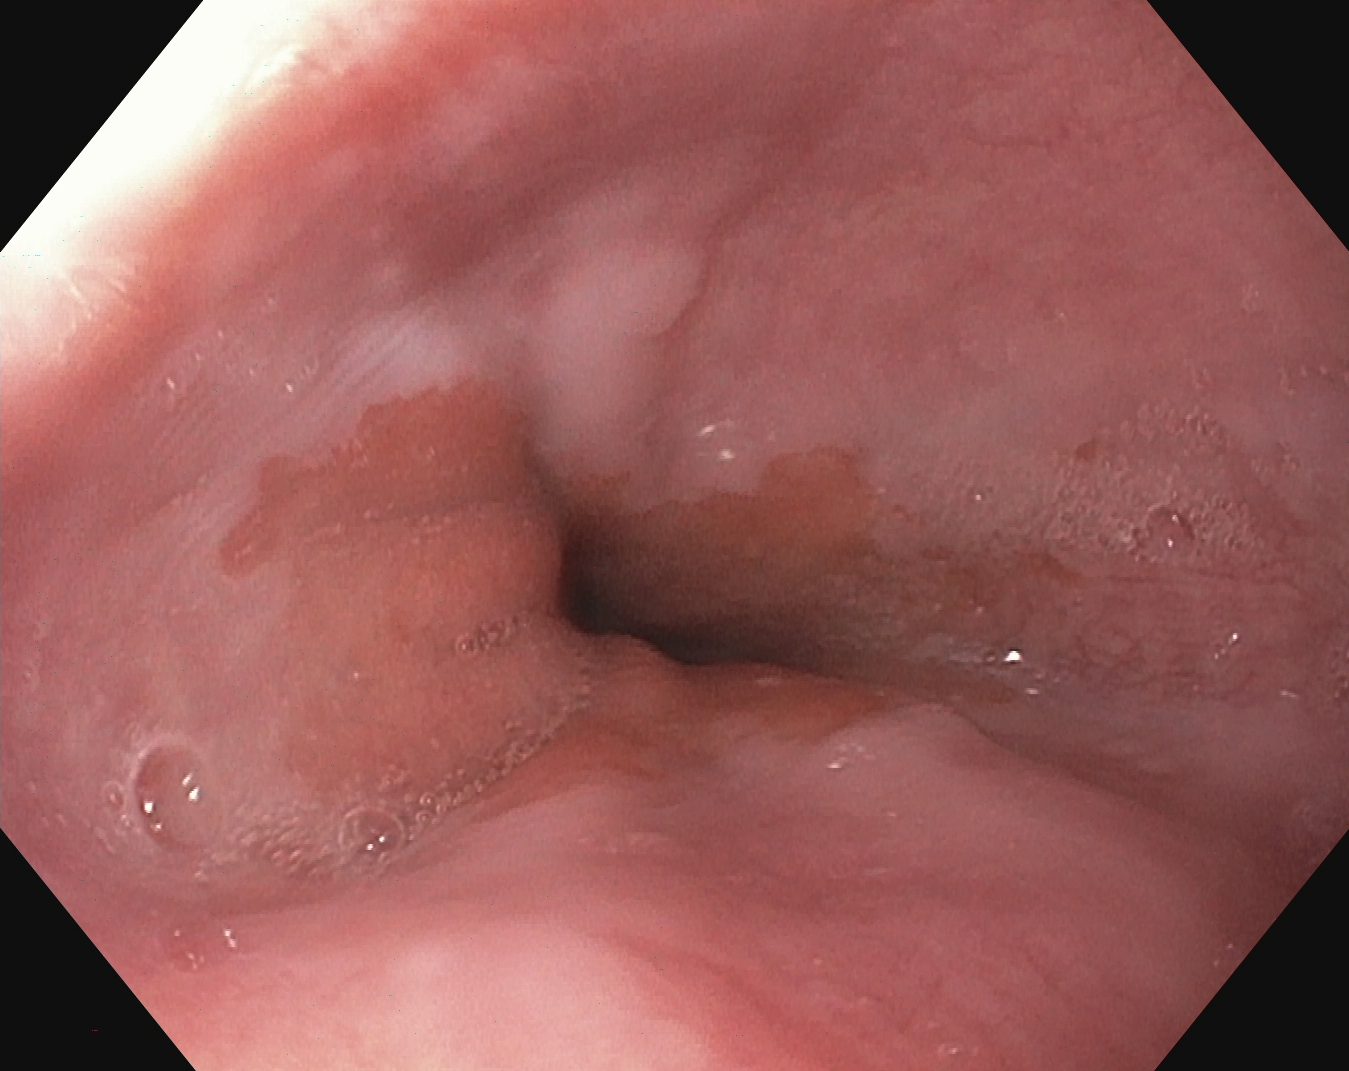PROCEDURE: Esophagogastroduodenoscopy.
FINDINGS: Z-line (gastroesophageal junction).